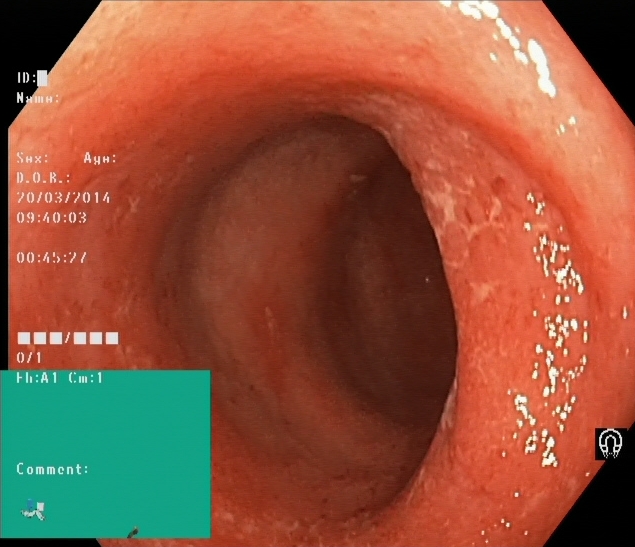UC, Mayo endoscopic subscore 2.